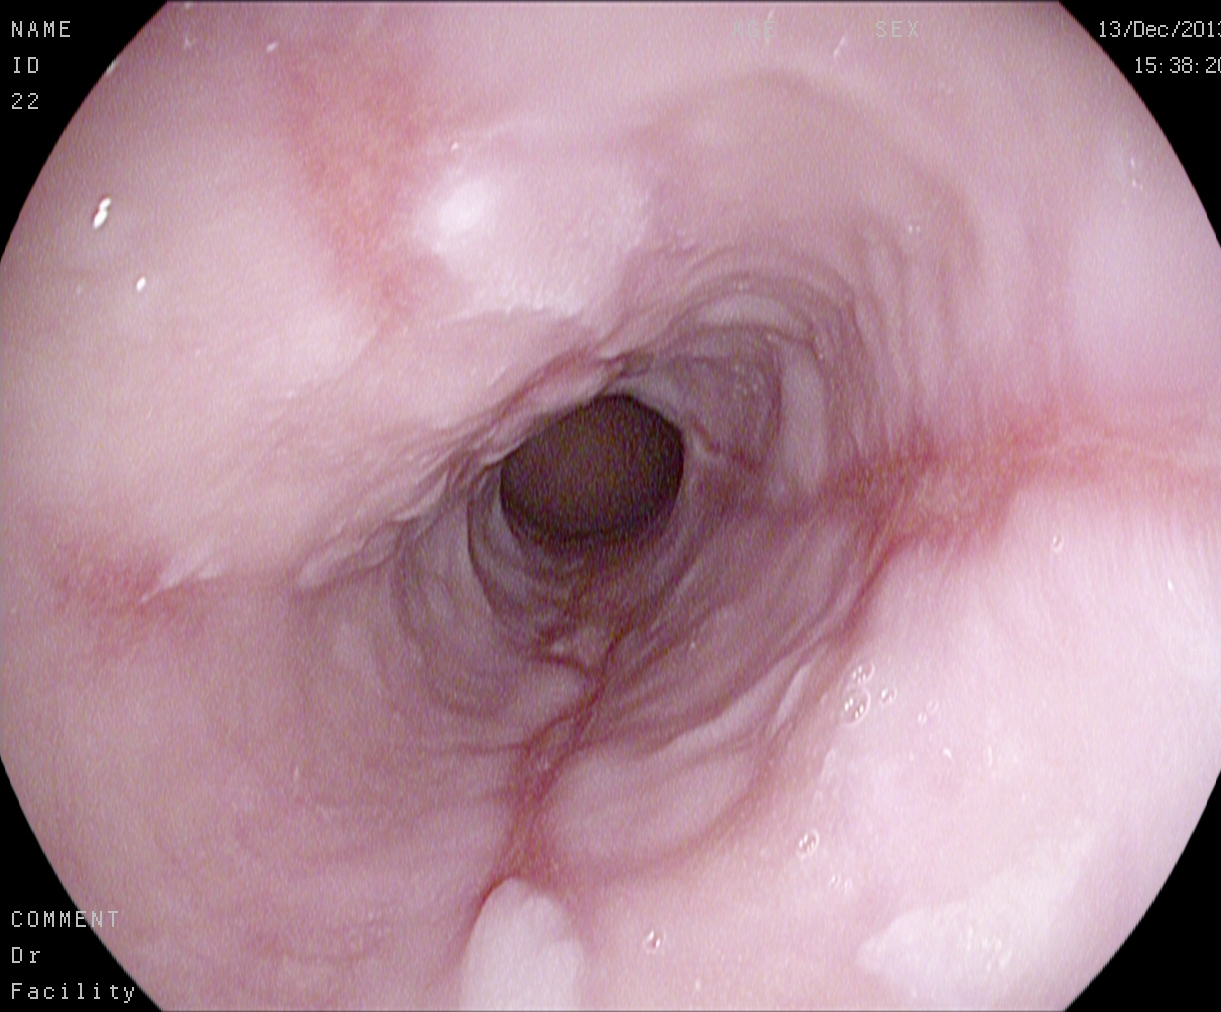EGD — reflux esophagitis, Los Angeles grade B–D.